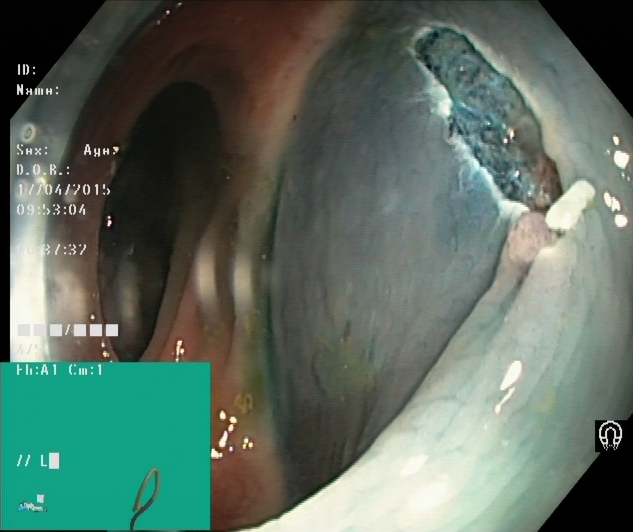Lower-GI endoscopy — dyed resection margins (post-polypectomy).